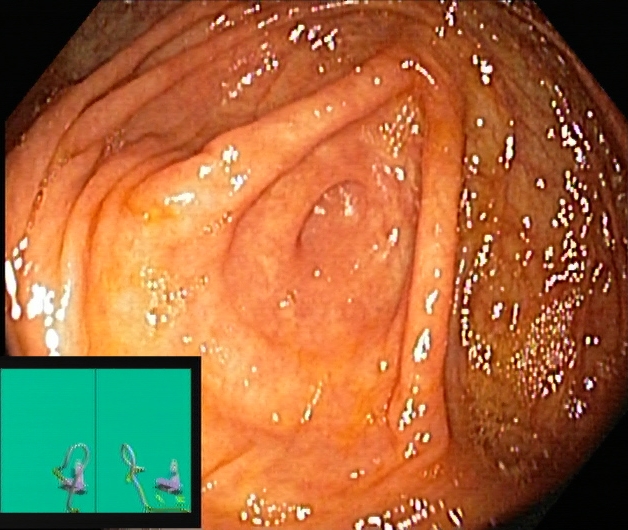Colonoscopy image of the lower GI tract showing cecum.